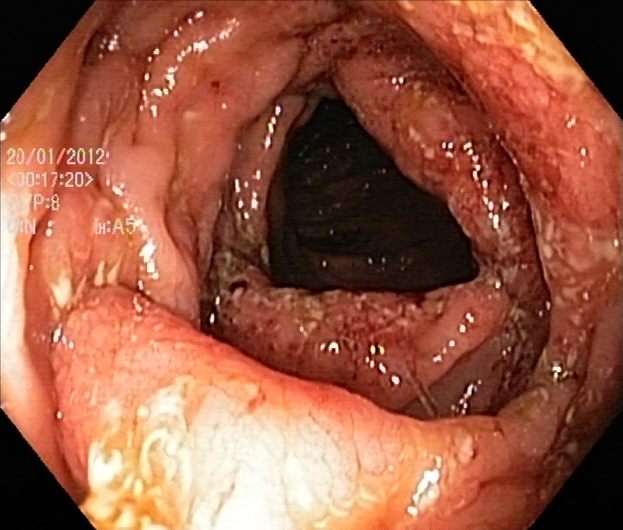Endoscopy image of the lower GI tract showing UC, Mayo endoscopic subscore 3.